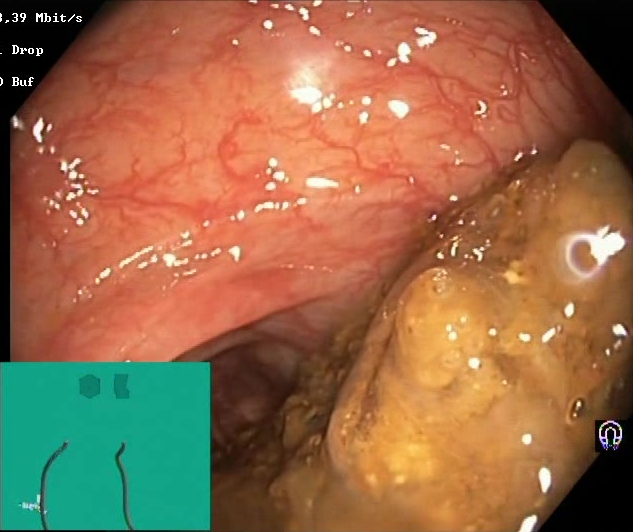Colonoscopy — Boston Bowel Preparation Scale score 0–1 (inadequate preparation).